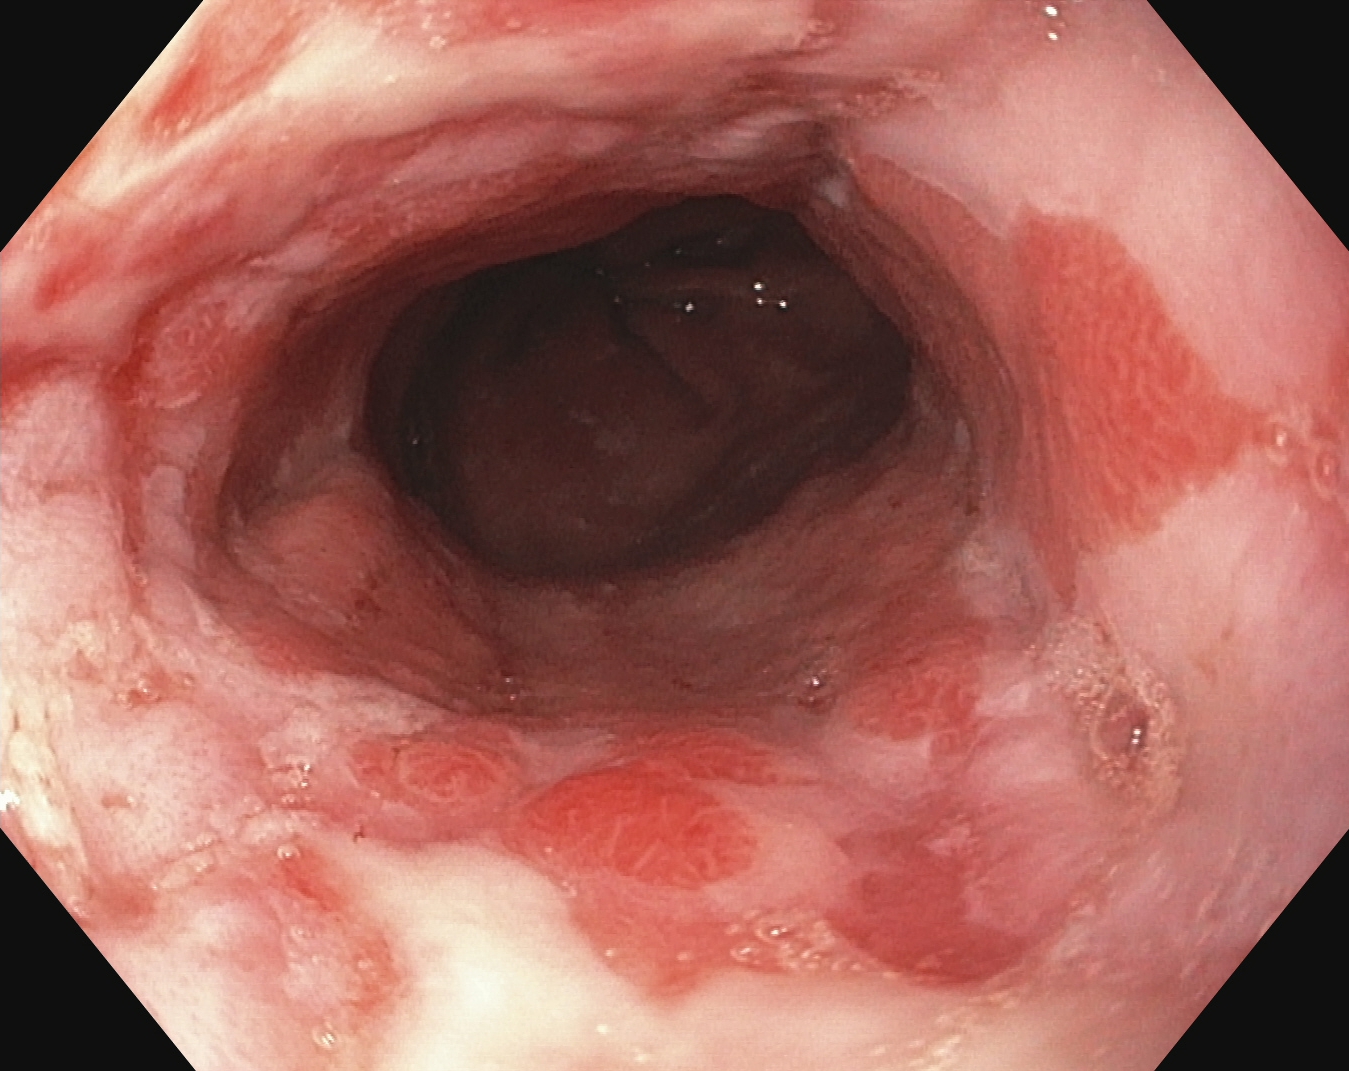modality: gastroscopy | tract: upper GI tract | finding: reflux esophagitis, Los Angeles grade B–D